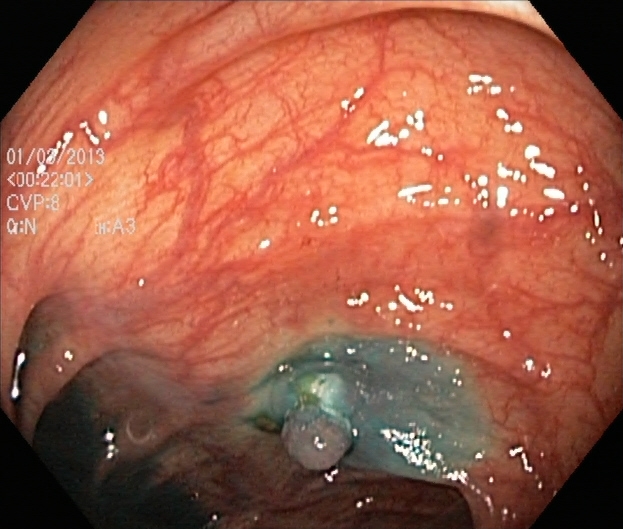modality: lower gastrointestinal endoscopy
tract: lower GI tract
finding: dyed and lifted polyp (pre-resection)